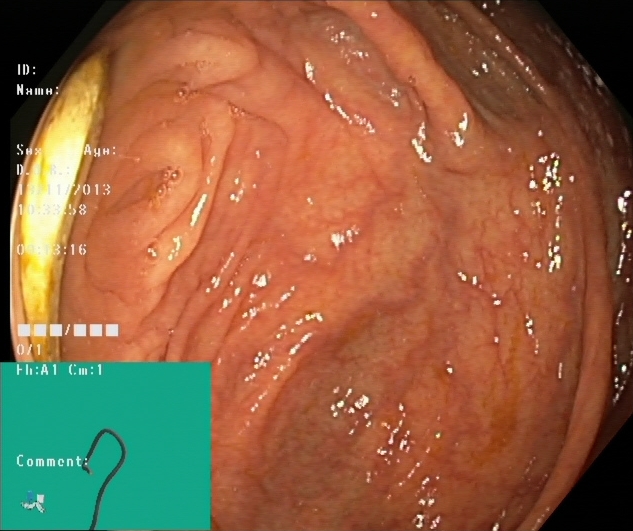Lower-GI endoscopy image of the lower GI tract showing cecum.